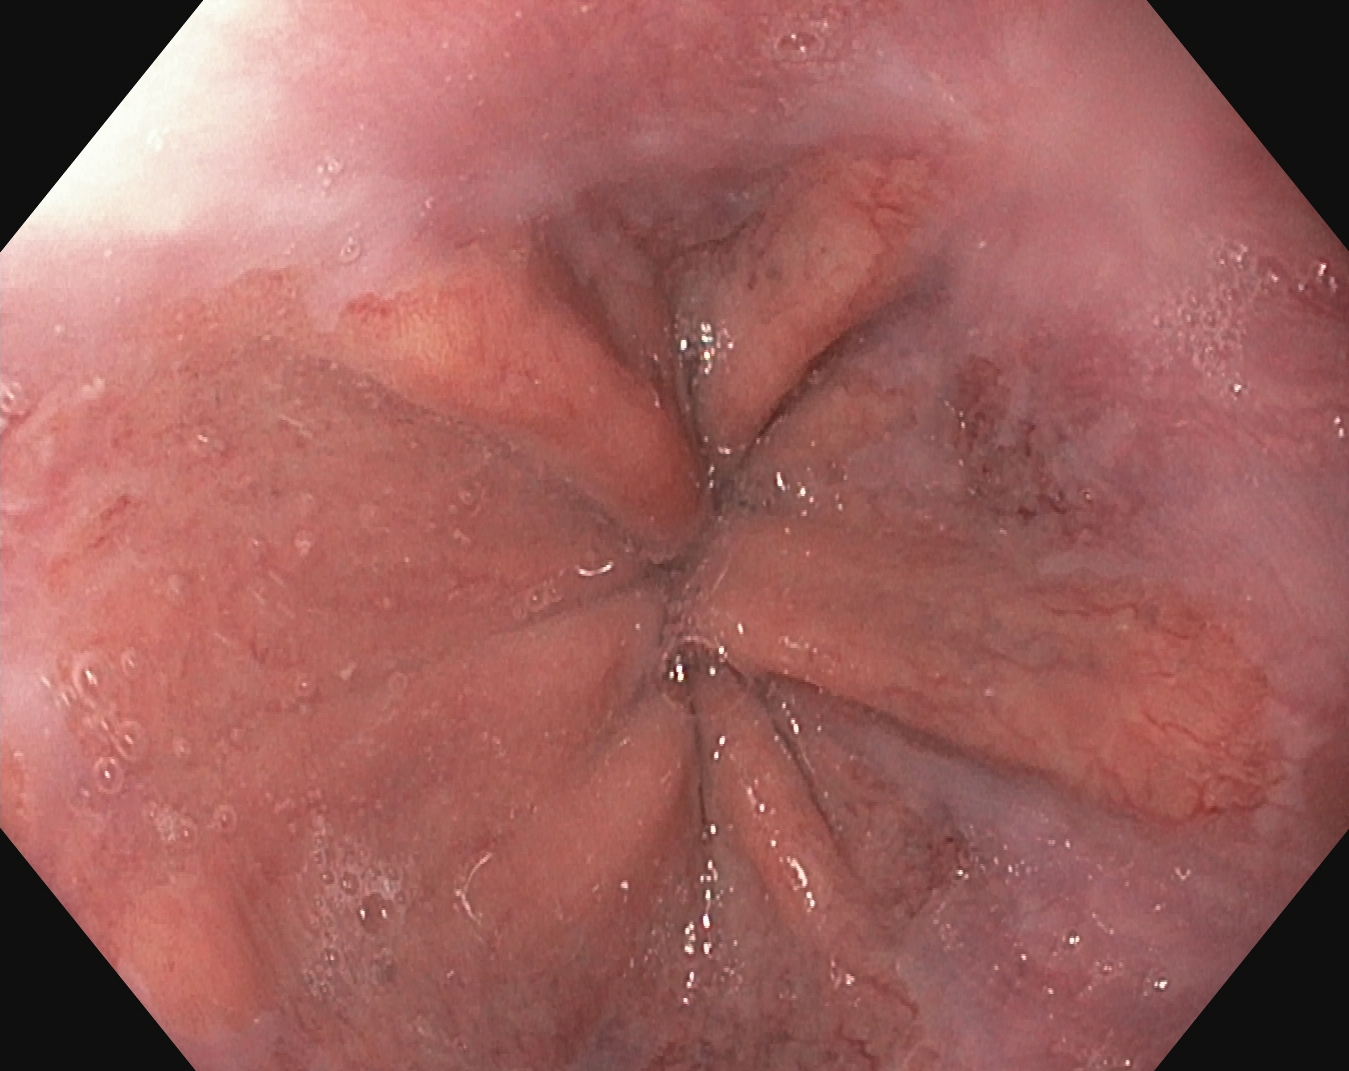modality: esophagogastroduodenoscopy | tract: upper GI tract | finding: Z-line (gastroesophageal junction)